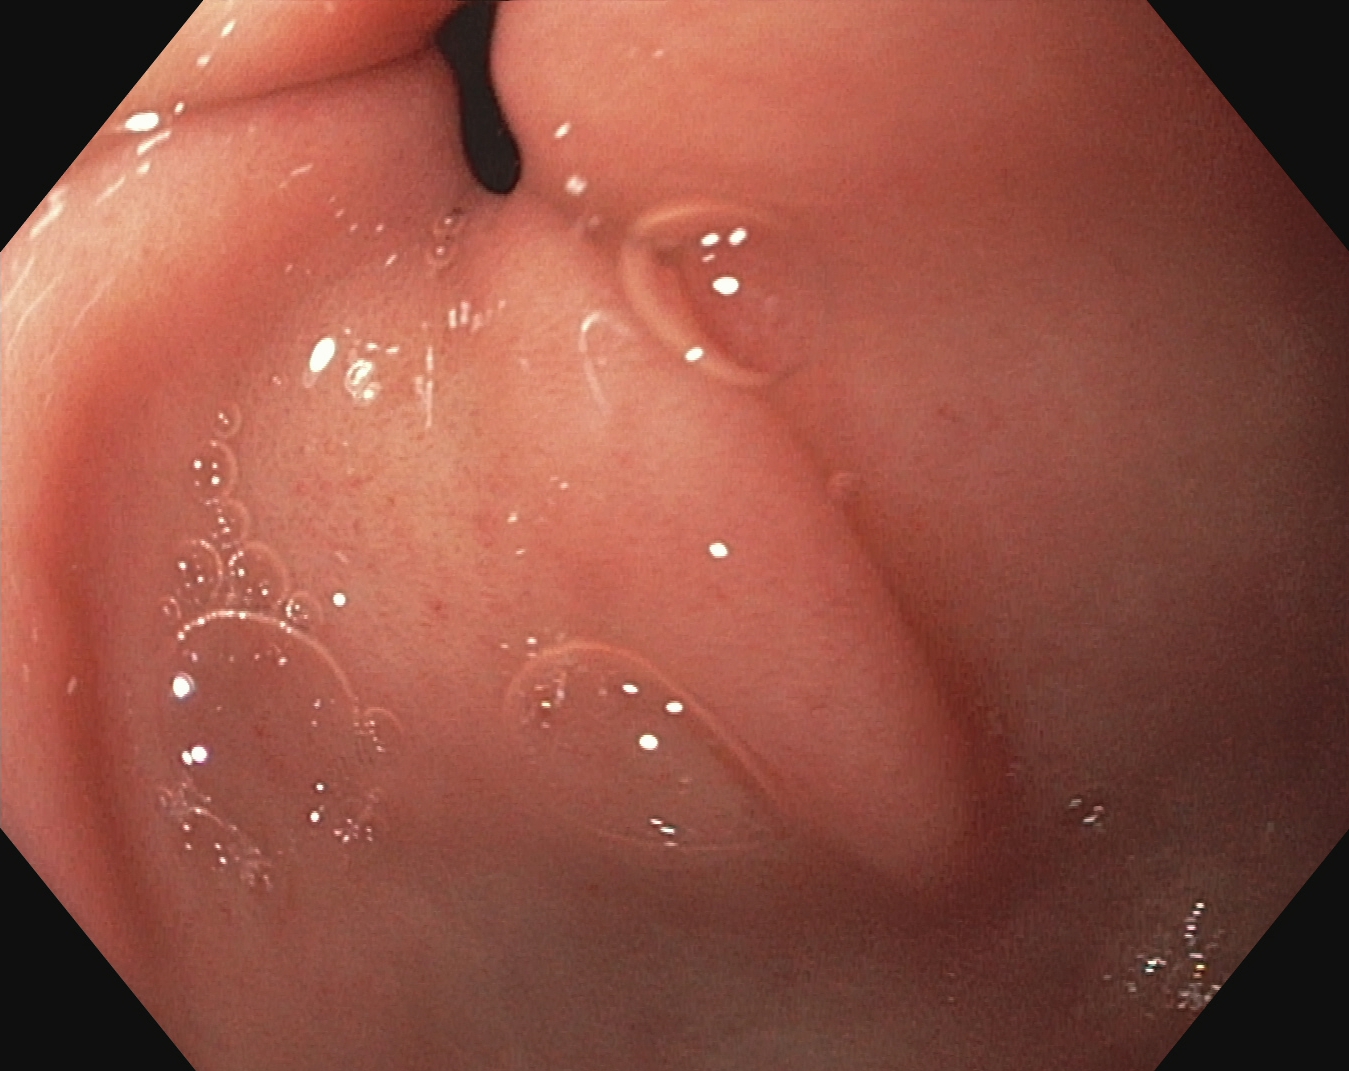modality: esophagogastroduodenoscopy; category: anatomical landmark; finding: pylorus